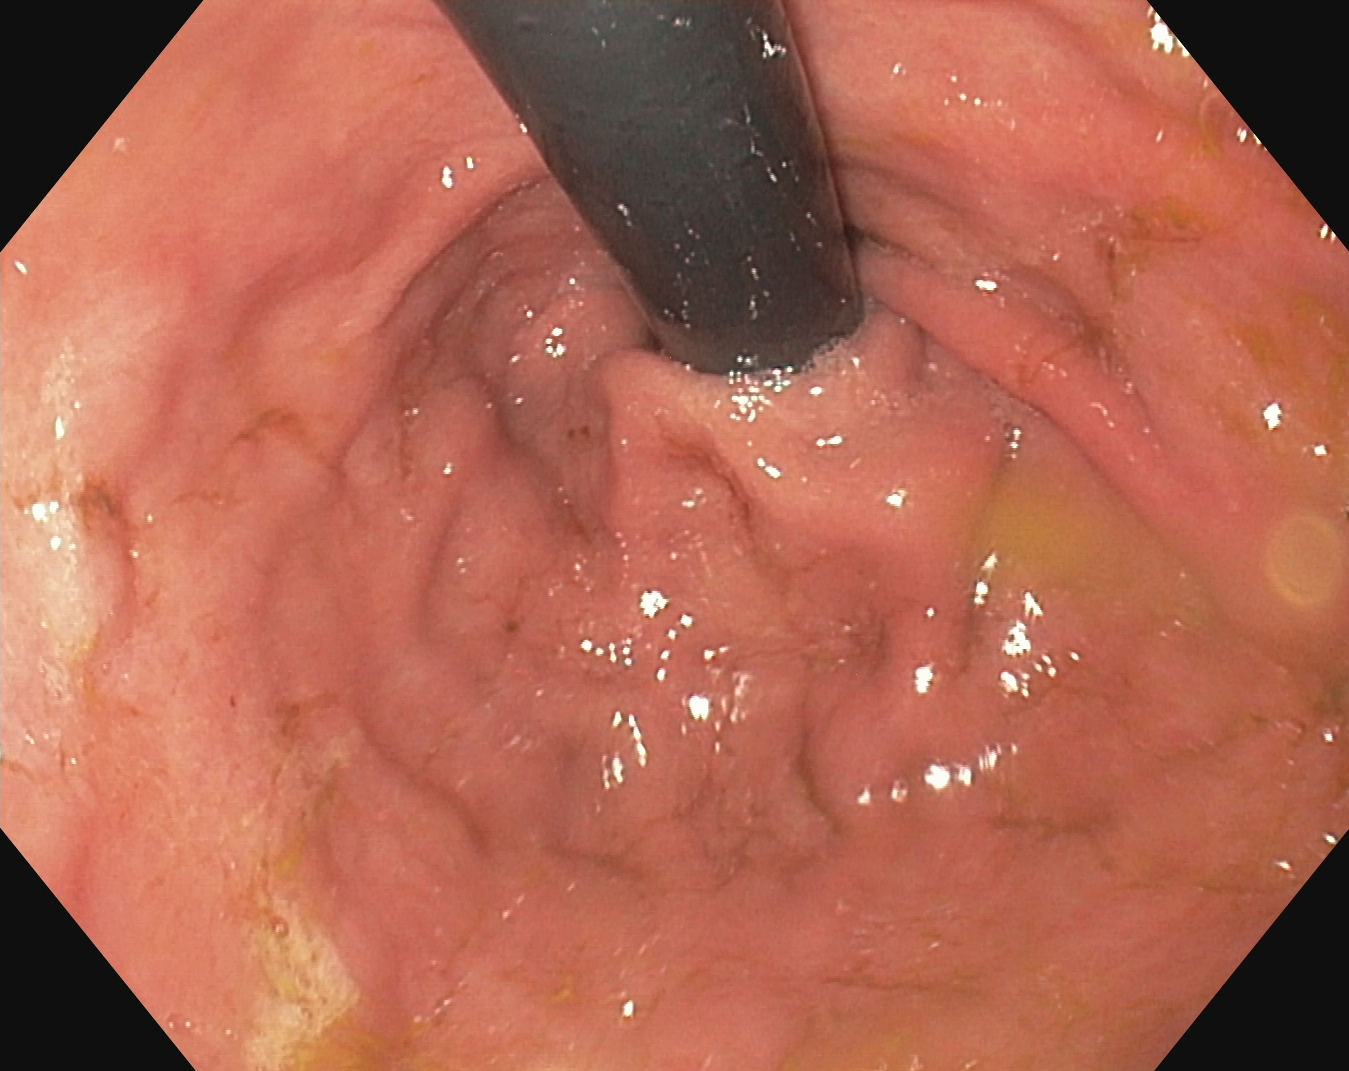Upper-GI endoscopy. Tract: upper GI tract. Finding: stomach in retroflexion.